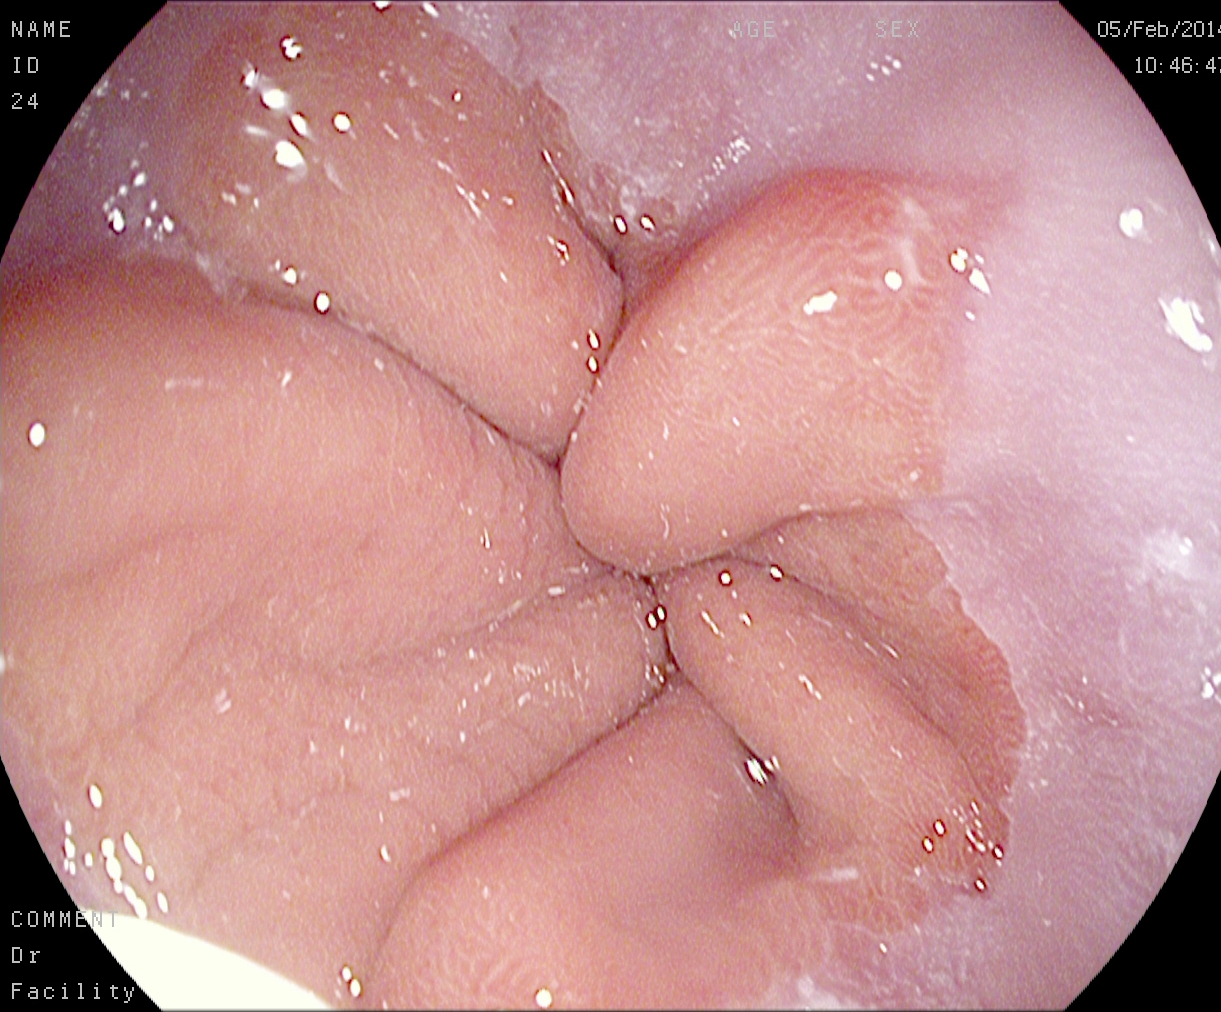{"modality": "gastroscopy", "tract": "upper GI tract", "finding": "Z-line (gastroesophageal junction)"}